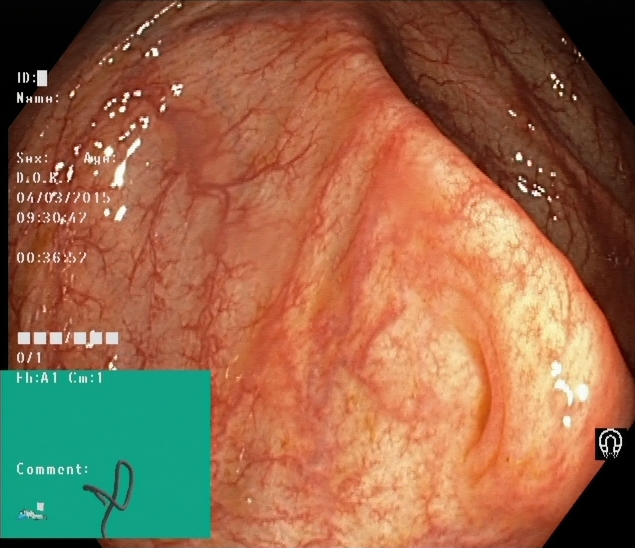Cecum.